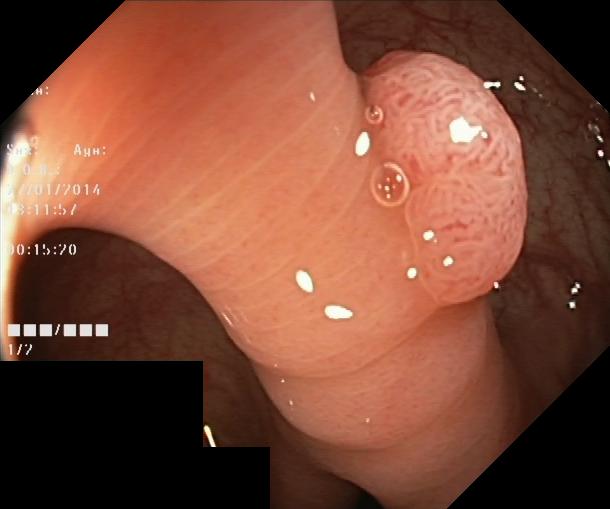PROCEDURE: Lower-GI endoscopy.
CATEGORY: Pathological finding.
FINDINGS: Colorectal polyp(s).